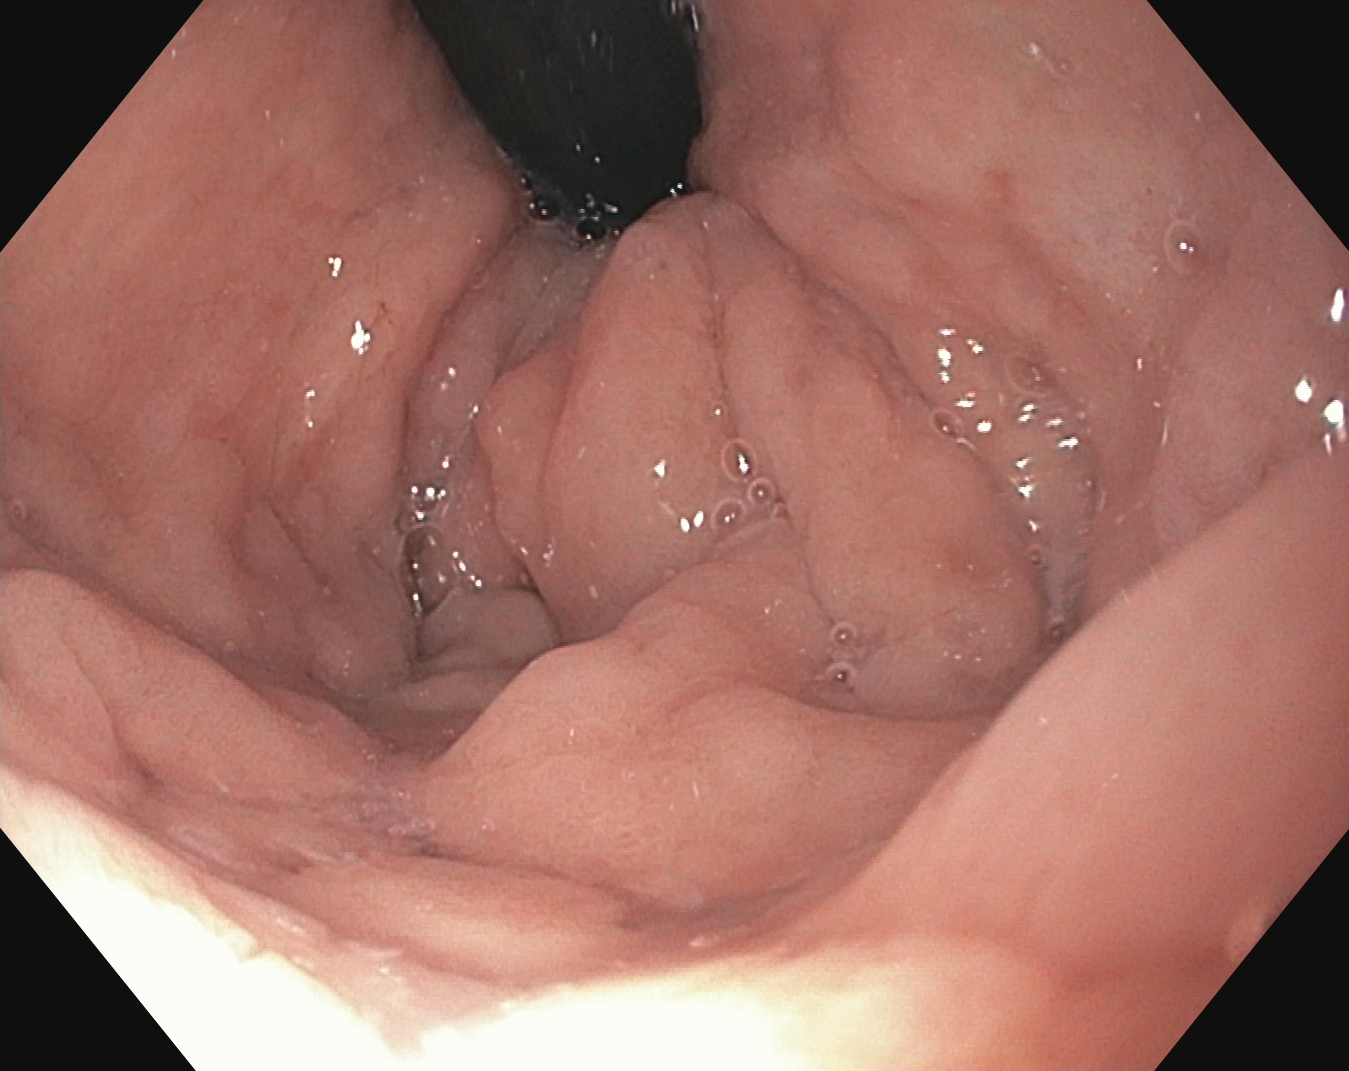This endoscopy frame shows stomach in retroflexion.